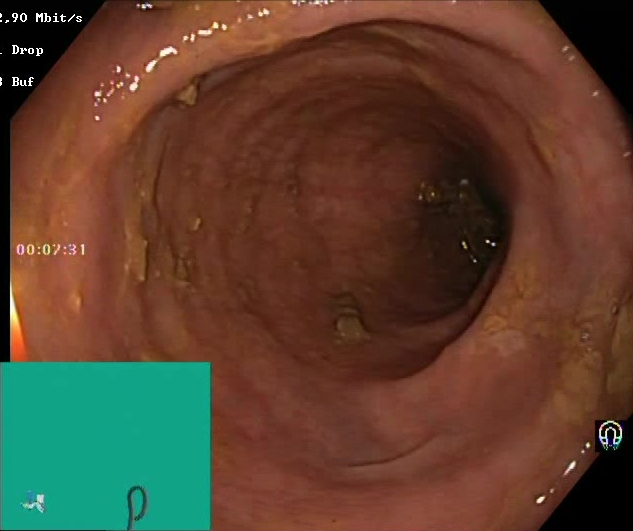Boston Bowel Preparation Scale score 2–3 (adequate preparation).